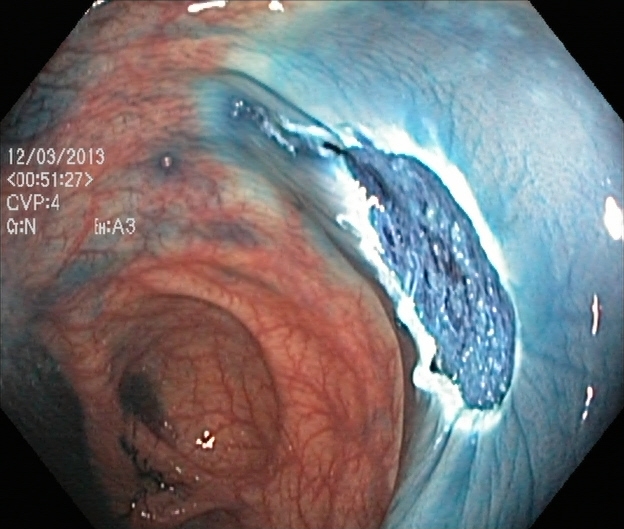PROCEDURE: Lower gastrointestinal endoscopy.
FINDINGS: Dyed resection margins (post-polypectomy).